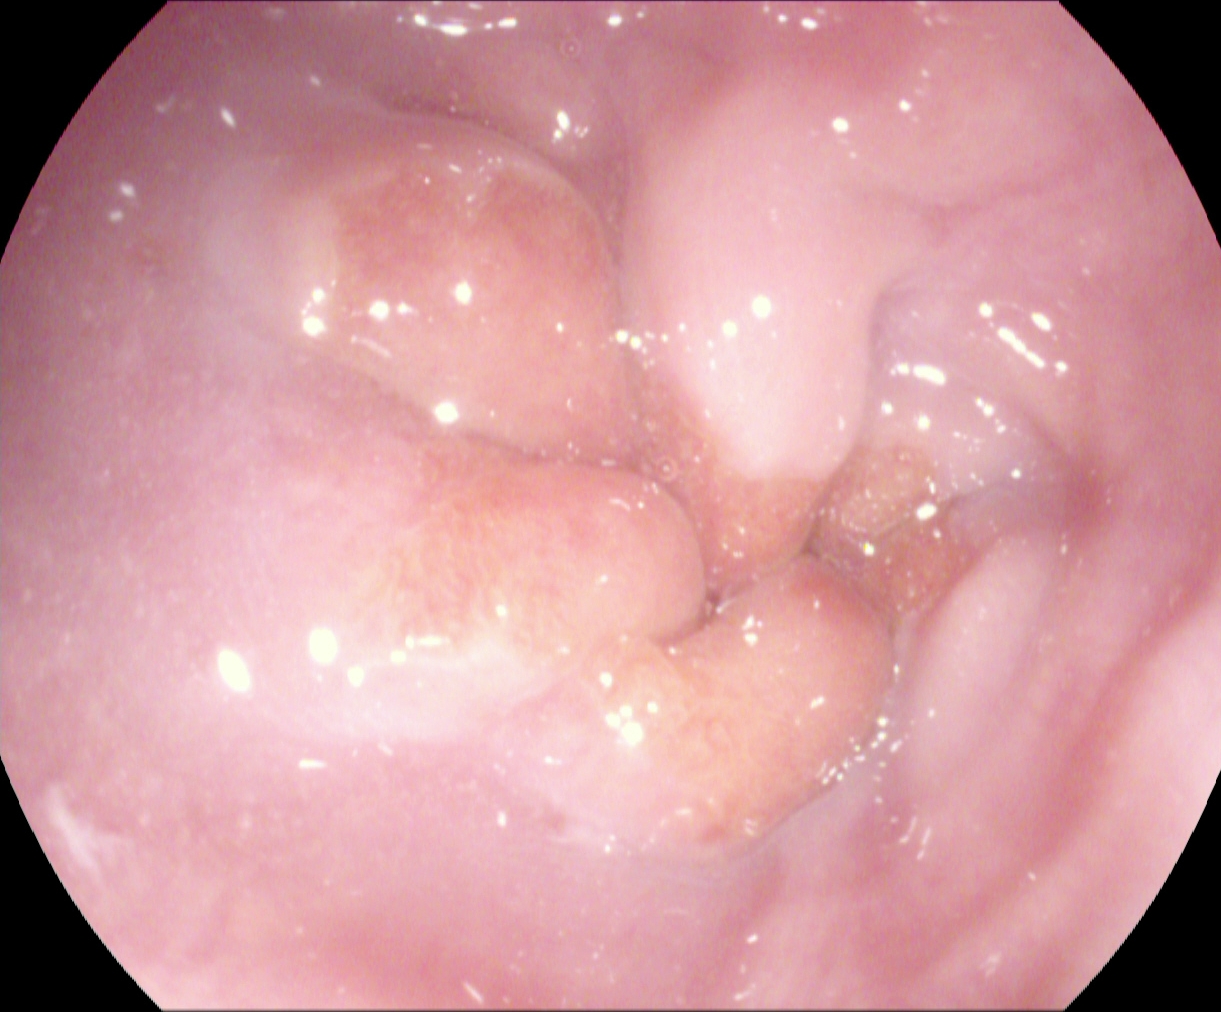Upper-GI endoscopy — Z-line (gastroesophageal junction).